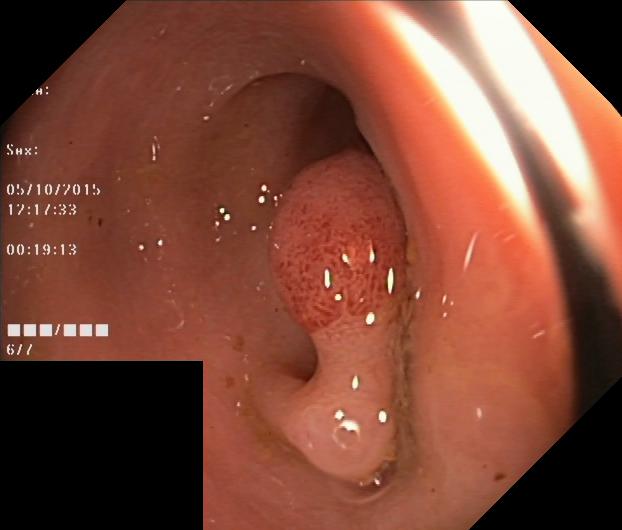{"modality": "colonoscopy", "tract": "lower GI tract", "category": "pathological finding", "finding": "colorectal polyp(s)"}